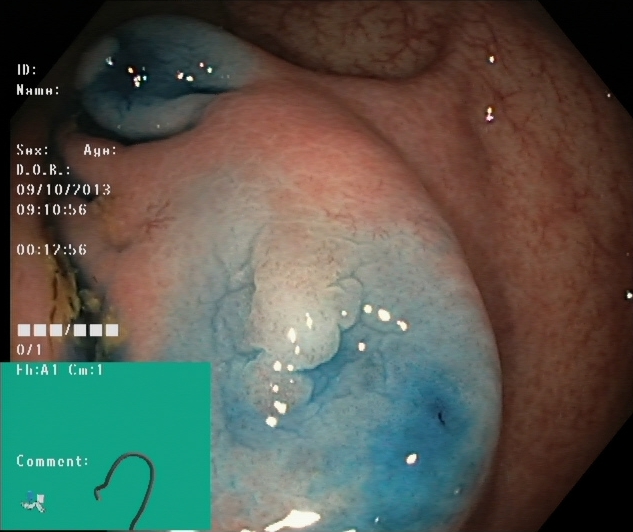PROCEDURE: Colonoscopy.
CATEGORY: Therapeutic intervention.
FINDINGS: Dyed and lifted polyp (pre-resection).